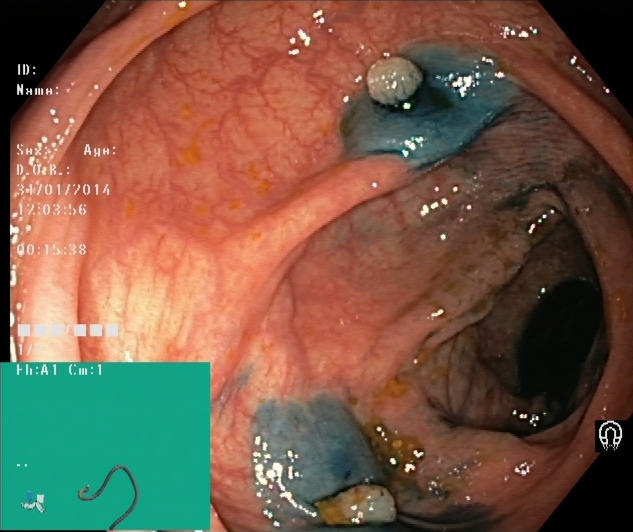Dyed and lifted polyp (pre-resection).